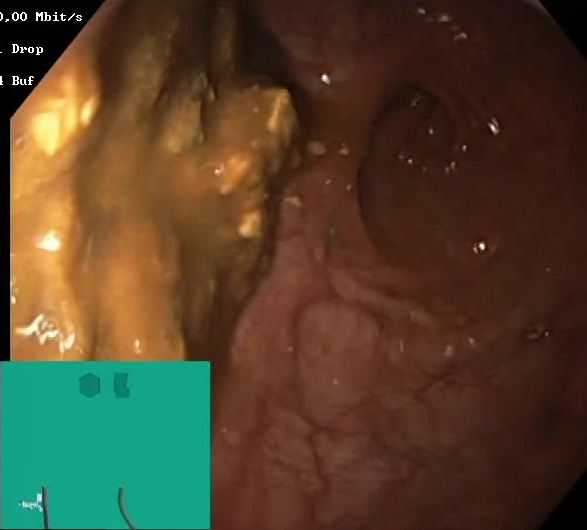modality: lower-GI endoscopy
tract: lower GI tract
finding: Boston Bowel Preparation Scale score 0–1 (inadequate preparation)